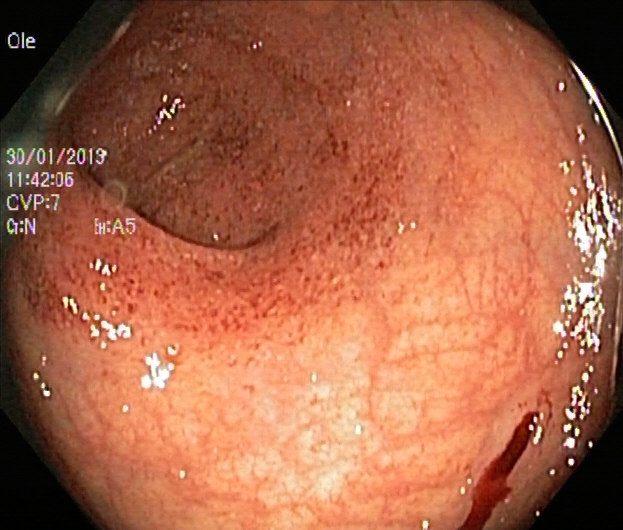This endoscopic image of the lower GI tract shows UC, Mayo endoscopic subscore 1.